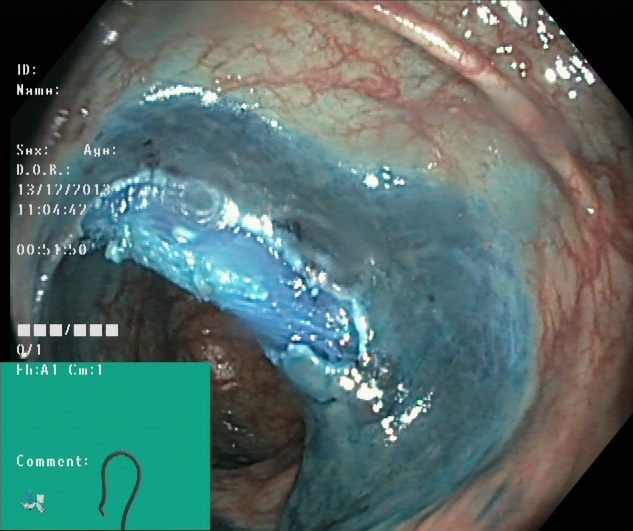Colonoscopy. Tract: lower GI tract. Finding: dyed resection margins (post-polypectomy).